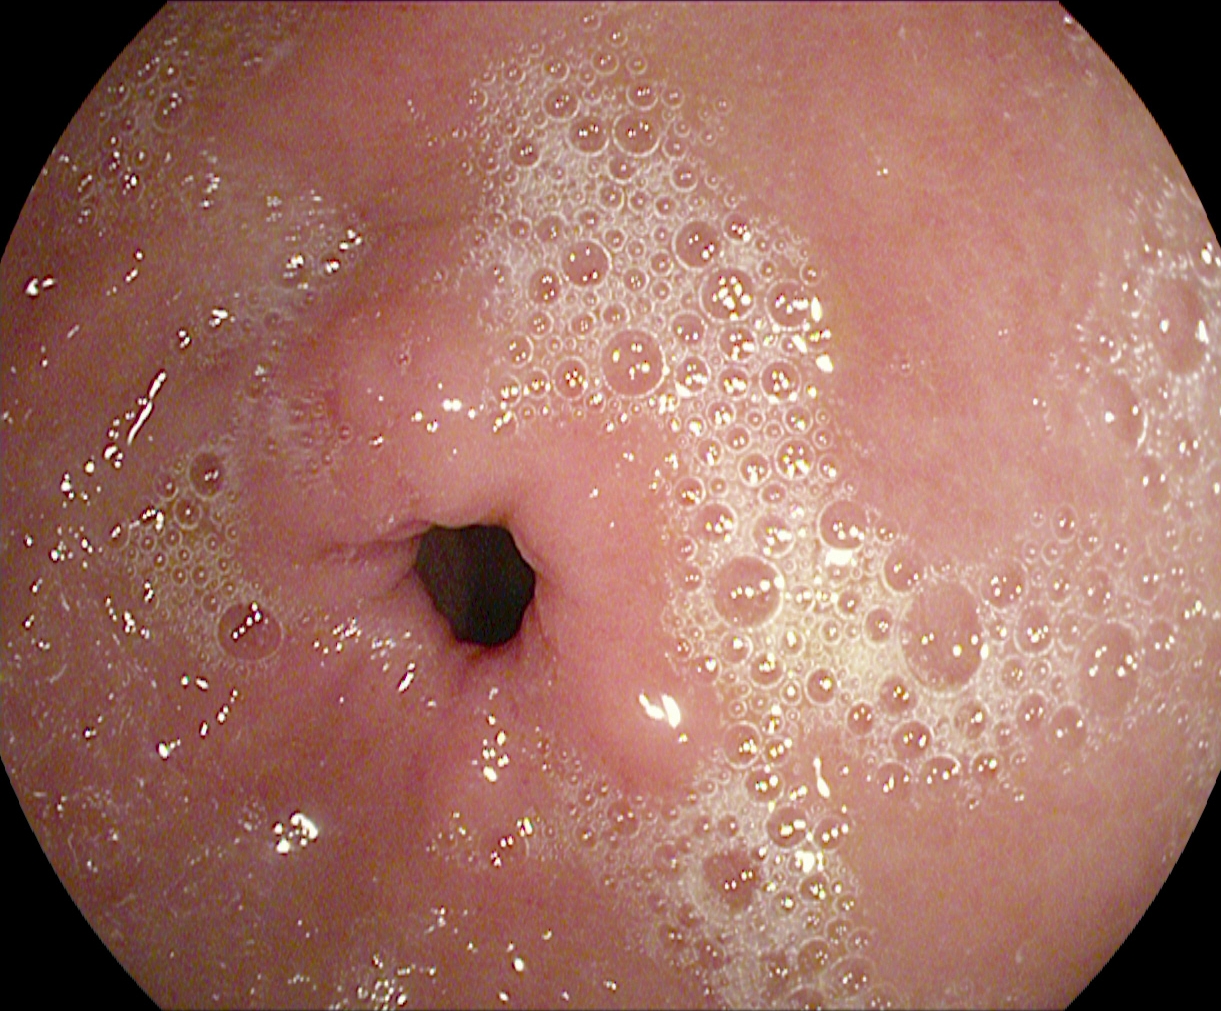PROCEDURE: Upper-GI endoscopy.
CATEGORY: Anatomical landmark.
FINDINGS: Pylorus.